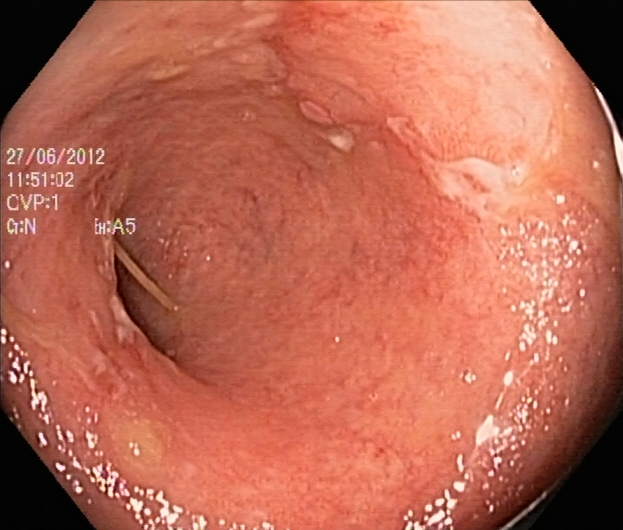Ulcerative colitis, Mayo endoscopic subscore 2.